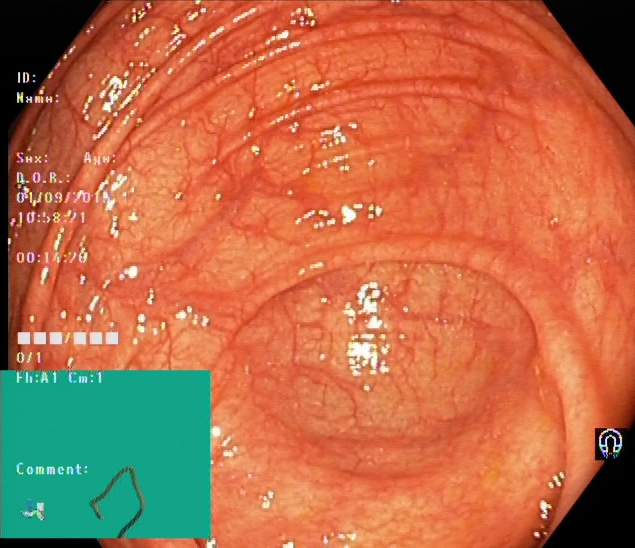Colonoscopy image of the lower GI tract showing cecum.